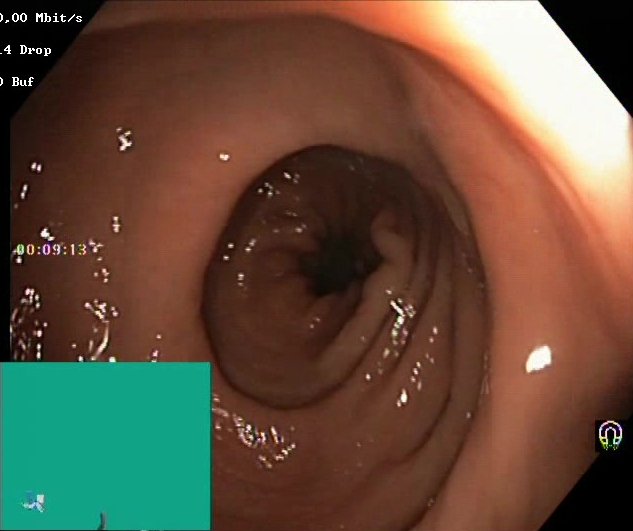Boston Bowel Preparation Scale score 2–3 (adequate preparation).